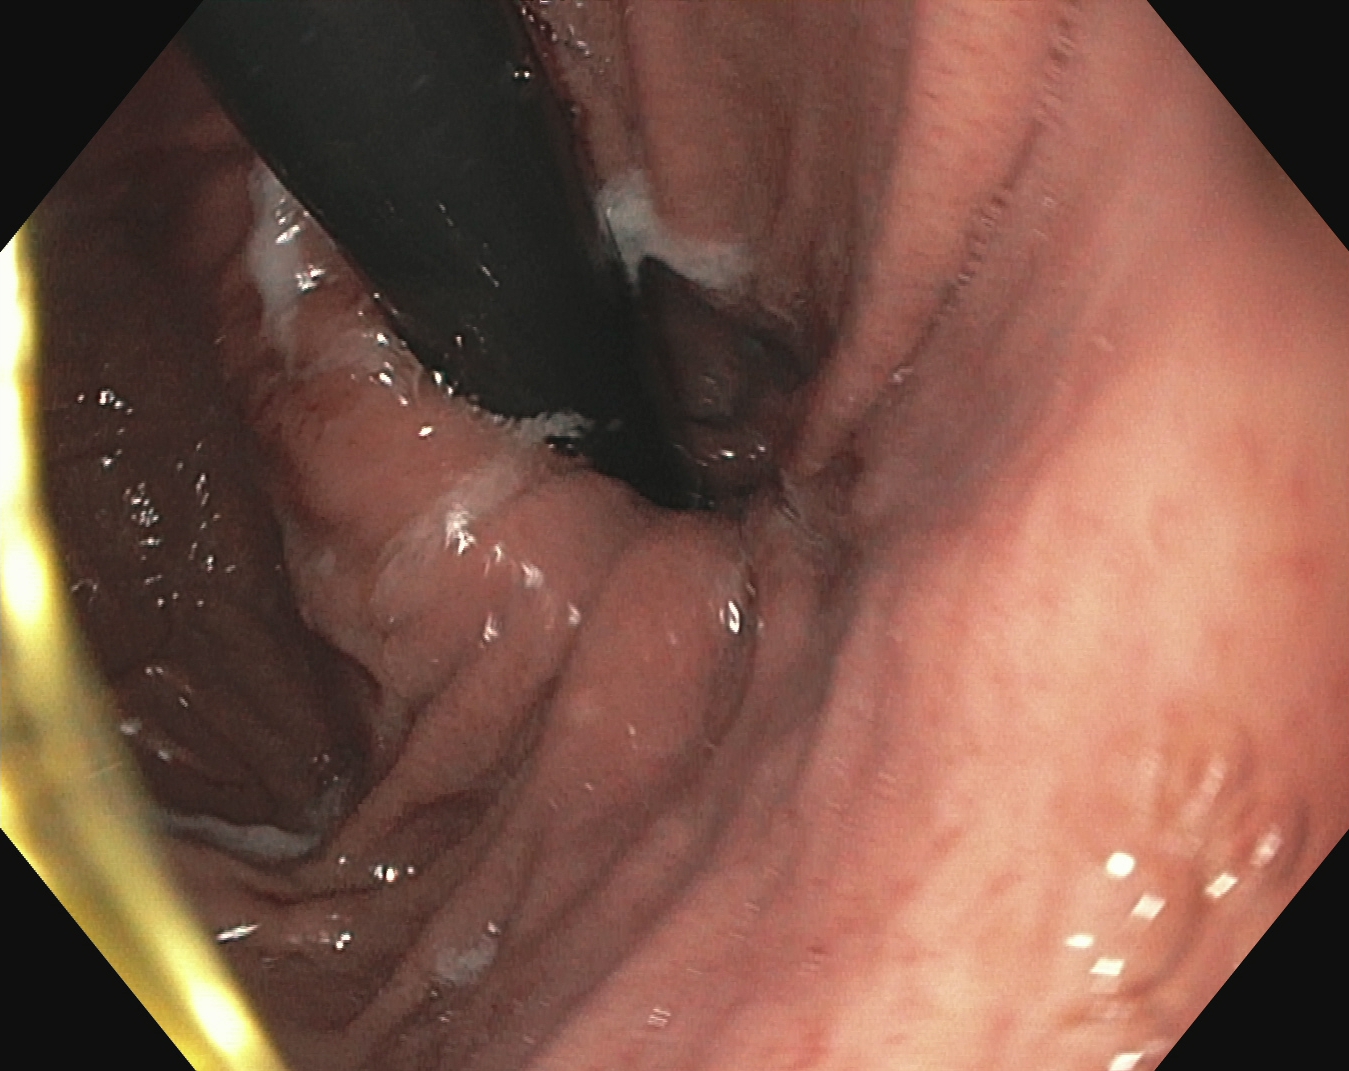modality: esophagogastroduodenoscopy; finding: stomach in retroflexion